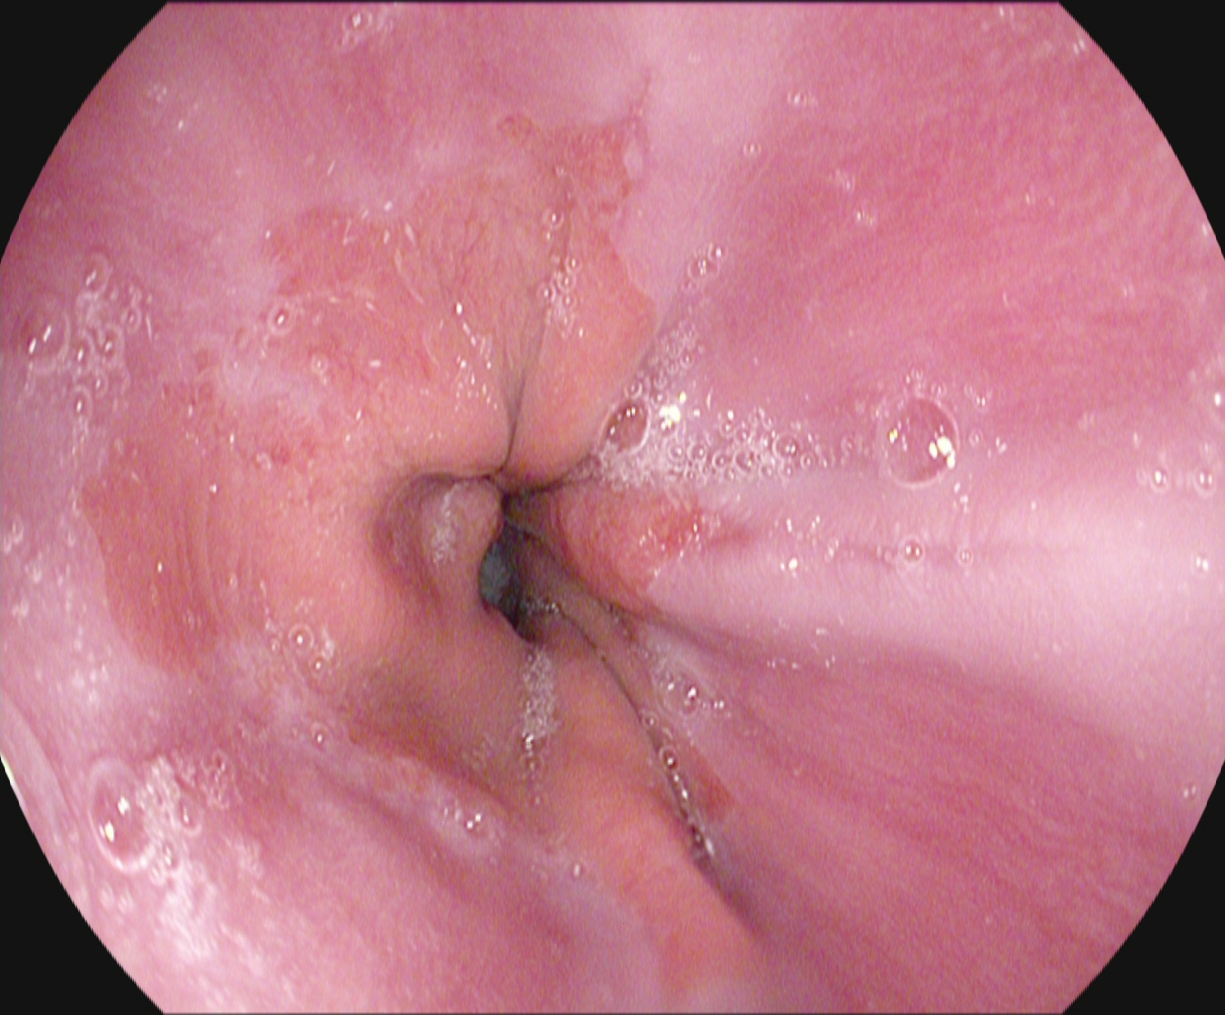Gastroscopy image of the upper GI tract showing reflux esophagitis, Los Angeles grade A.